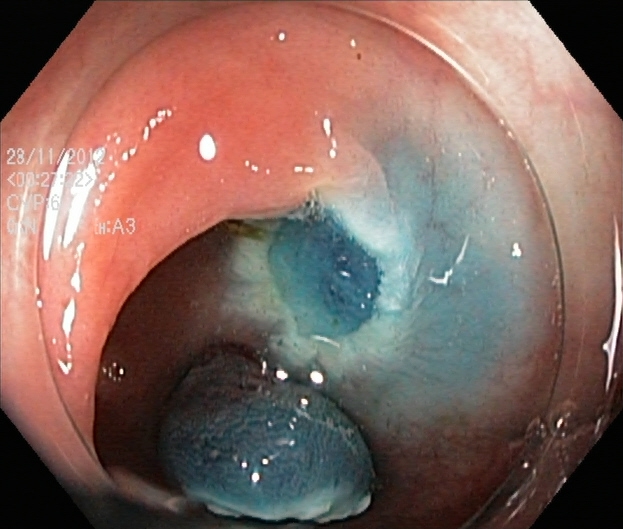Lower gastrointestinal endoscopy. Tract: lower GI tract. Finding: dyed resection margins (post-polypectomy).